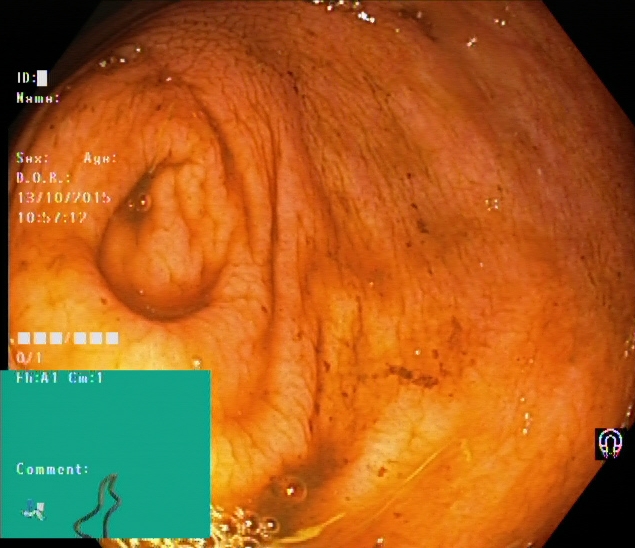Lower-GI endoscopy. Anatomical landmark. Finding: cecum.